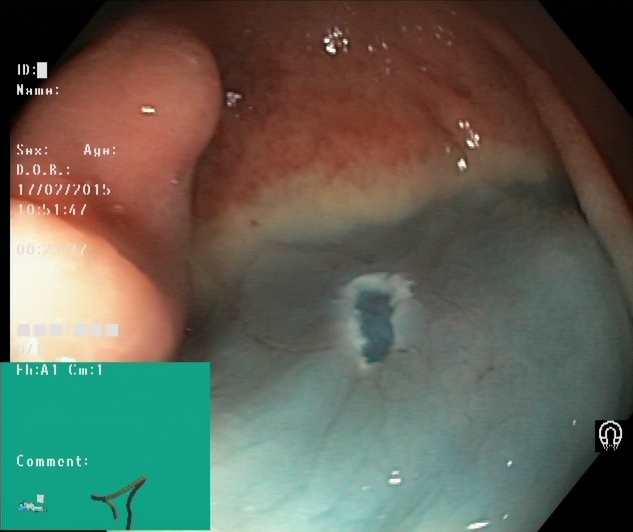{"modality": "lower-GI endoscopy", "finding": "dyed resection margins (post-polypectomy)"}